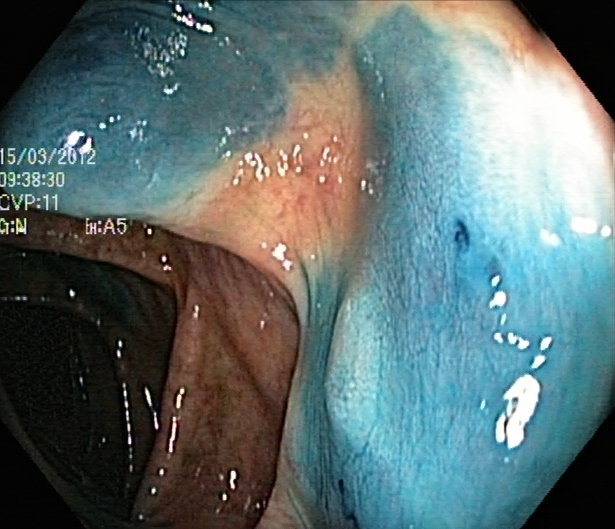This endoscopy frame of the lower GI tract shows dyed and lifted polyp (pre-resection).